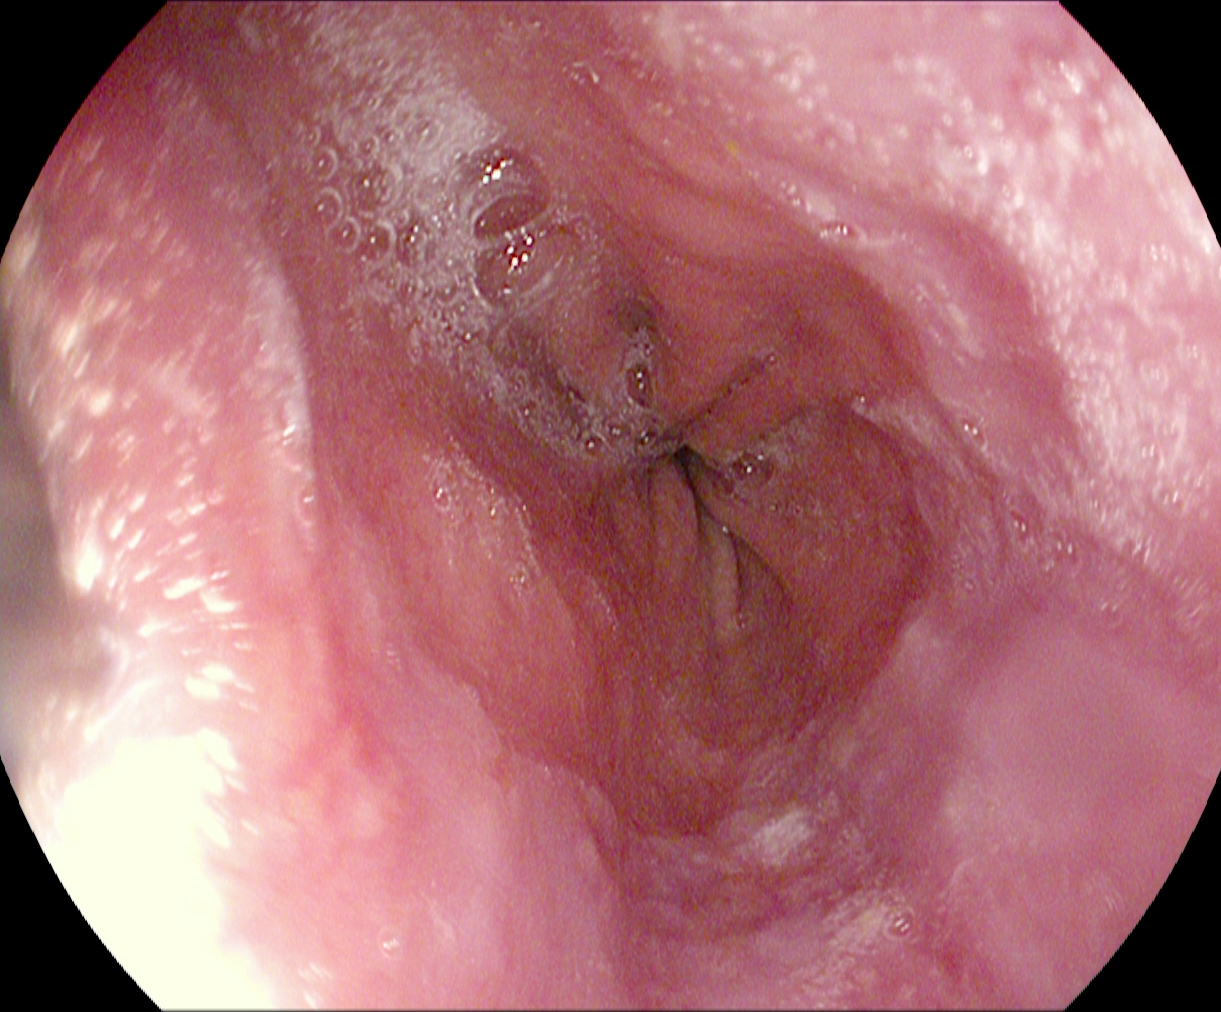modality: esophagogastroduodenoscopy
tract: upper GI tract
finding: Z-line (gastroesophageal junction)